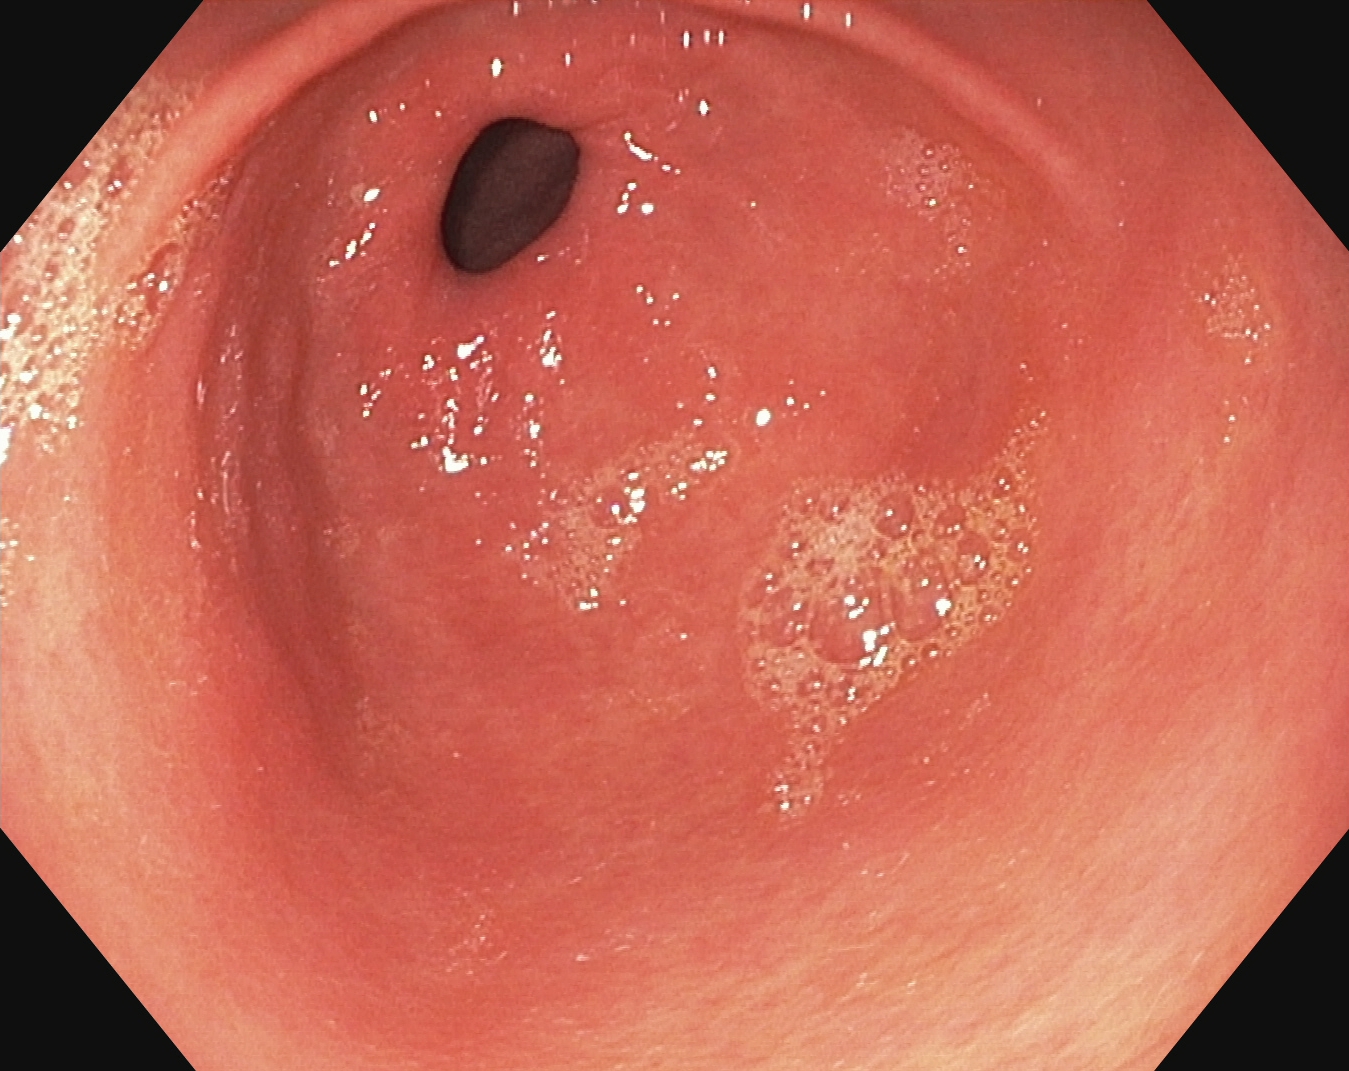Gastroscopy — pylorus.